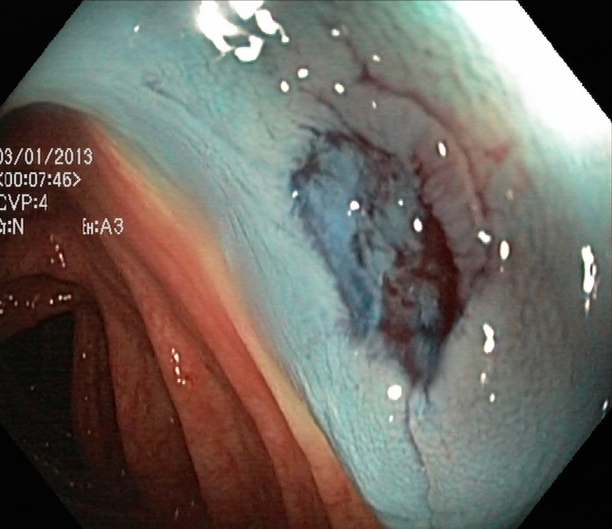Dyed resection margins (post-polypectomy).